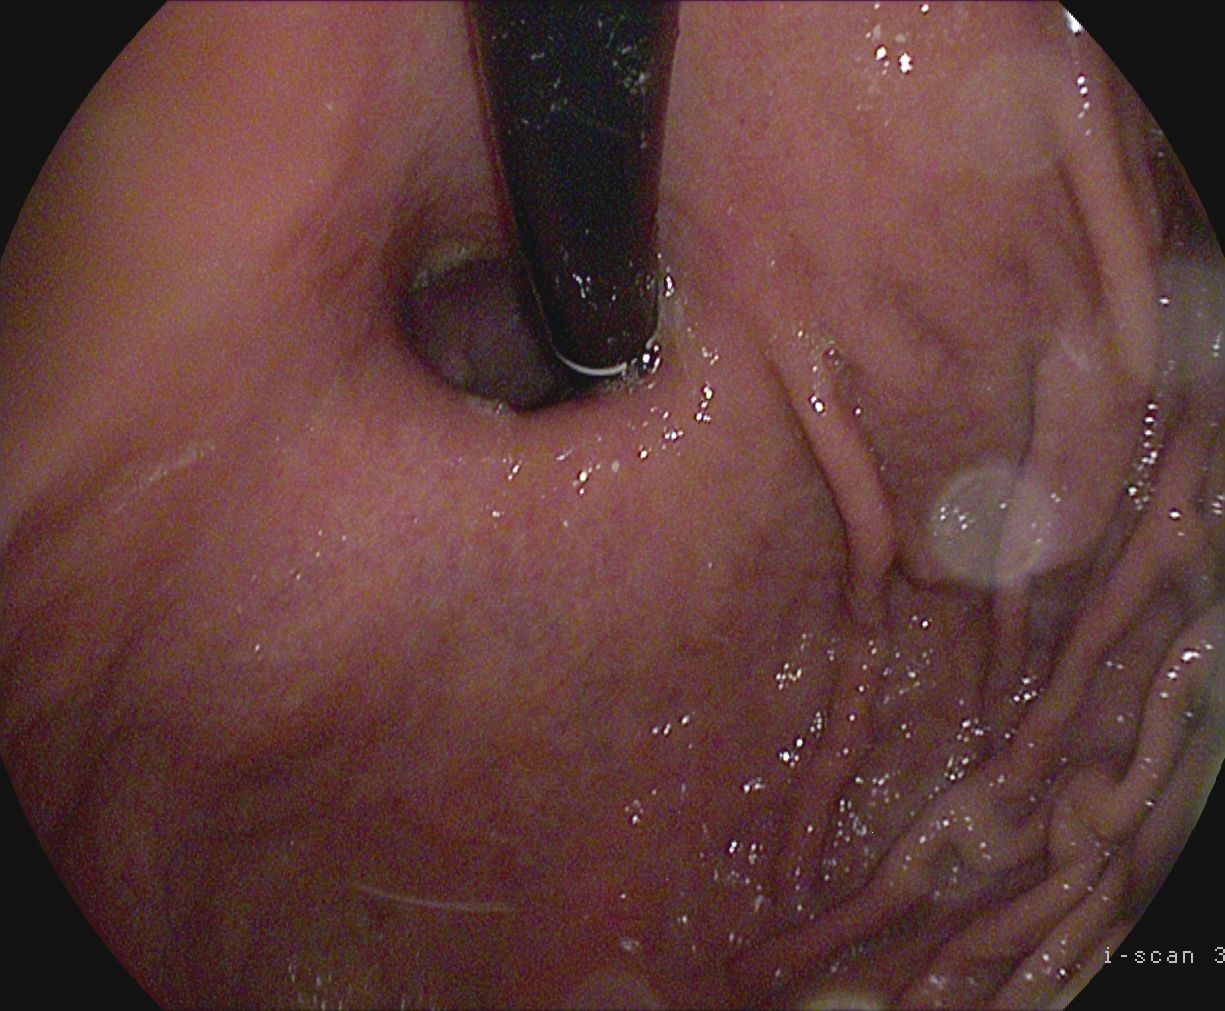PROCEDURE: Gastroscopy.
FINDINGS: Stomach in retroflexion.